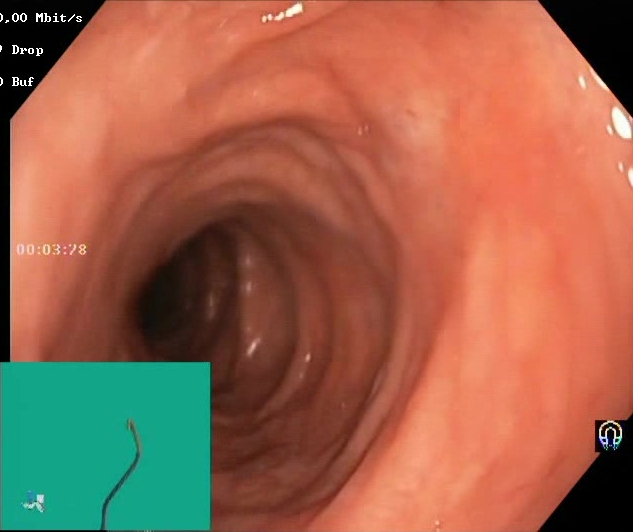BBPS score 2–3 (adequate preparation).